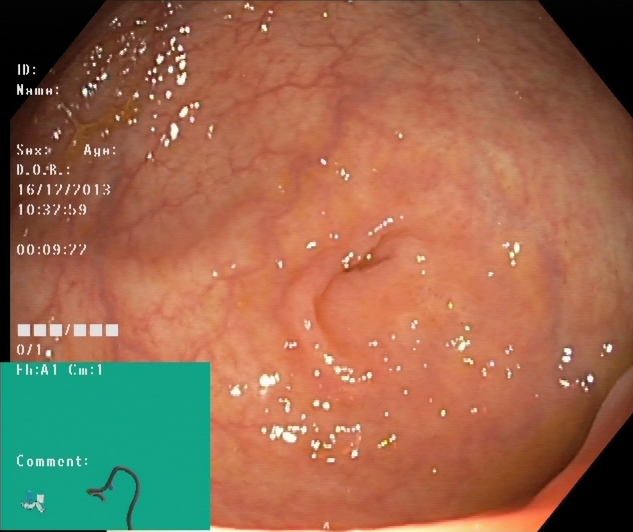cecum.